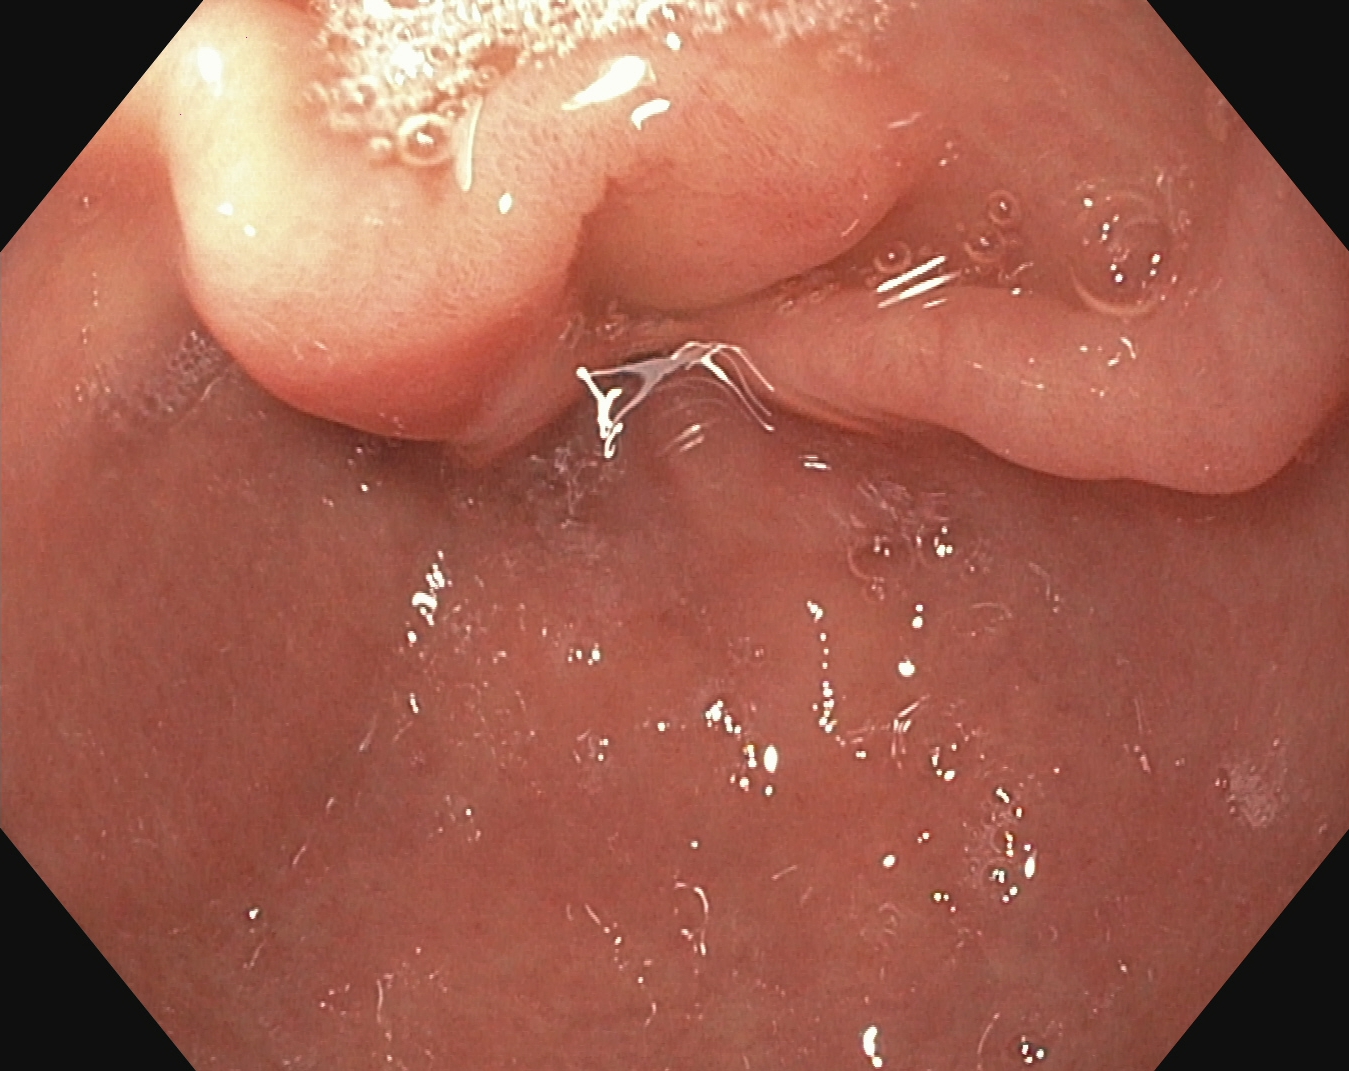{"modality": "upper-GI endoscopy", "finding": "pylorus"}